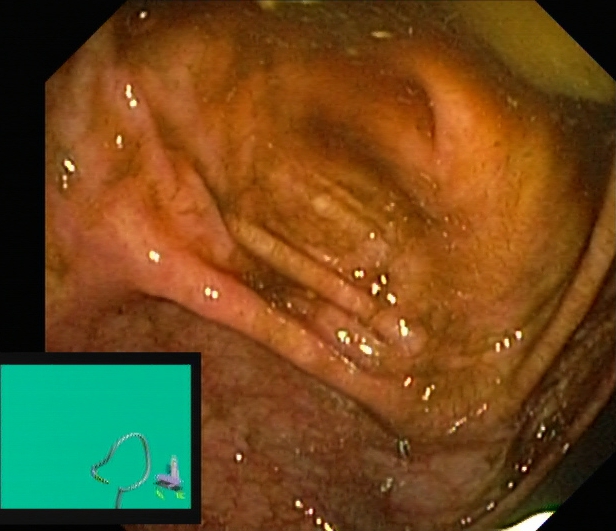Colonoscopy — cecum.